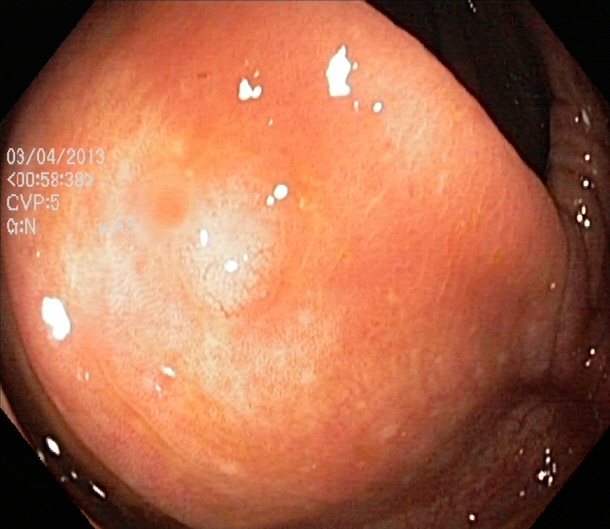Colonoscopy. Tract: lower GI tract. Finding: ulcerative colitis, Mayo endoscopic subscore 1.